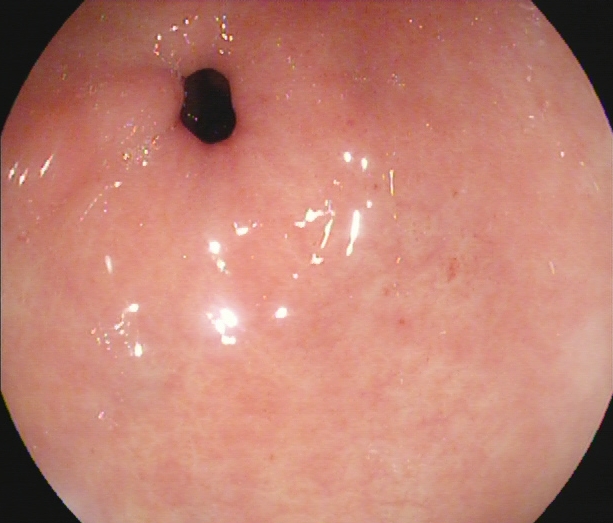Pylorus.